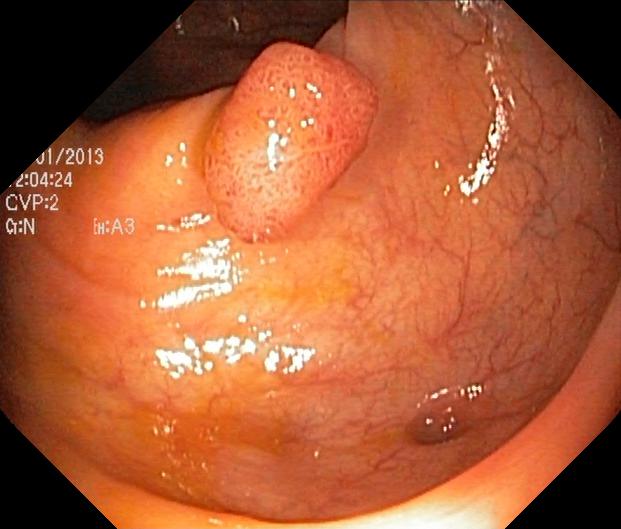Colorectal polyp(s).